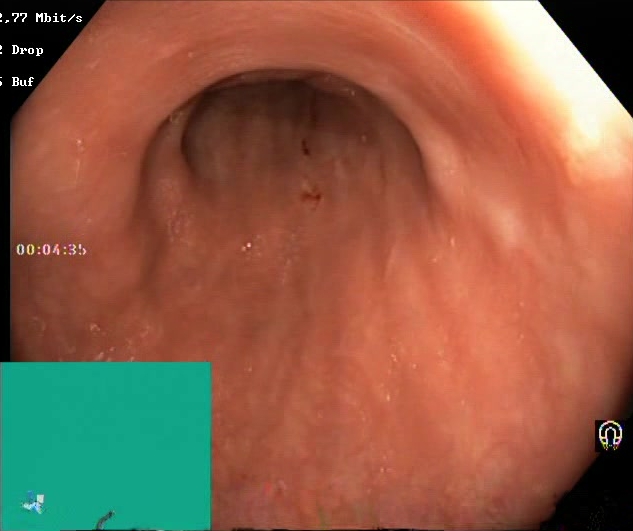GI endoscopy image of the lower GI tract showing Boston Bowel Preparation Scale score 2–3 (adequate preparation).